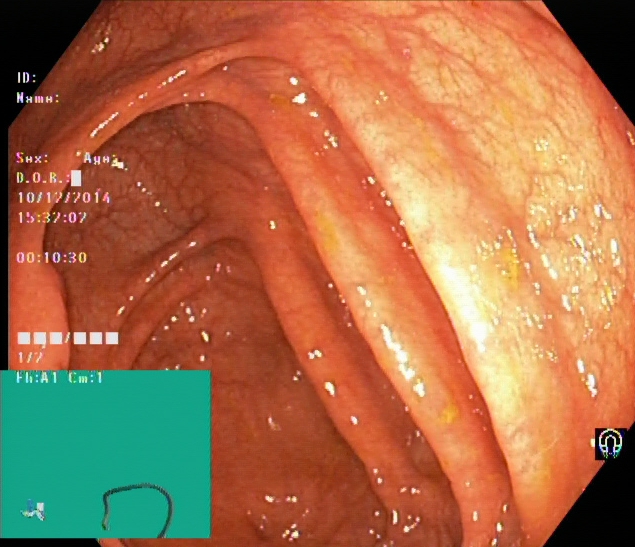GI endoscopy image of the lower GI tract showing cecum.